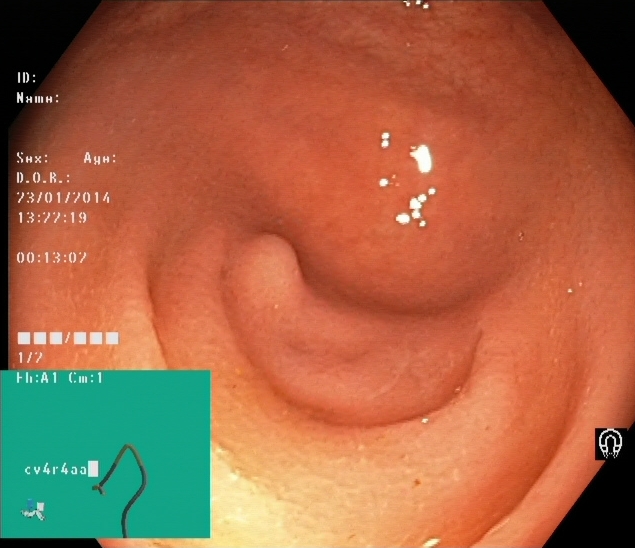{"modality": "lower gastrointestinal endoscopy", "tract": "lower GI tract", "category": "anatomical landmark", "finding": "cecum"}